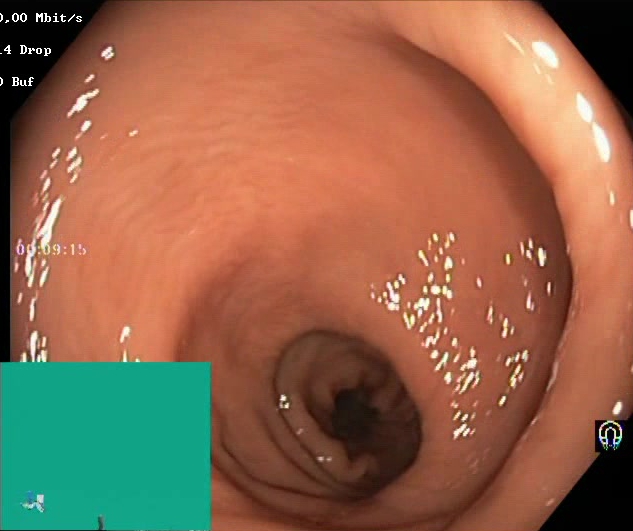Colonoscopy — Boston Bowel Preparation Scale score 2–3 (adequate preparation).